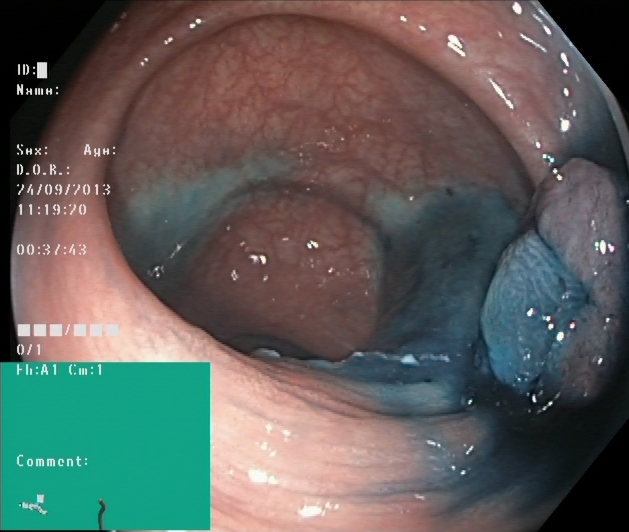Dyed and lifted polyp (pre-resection).